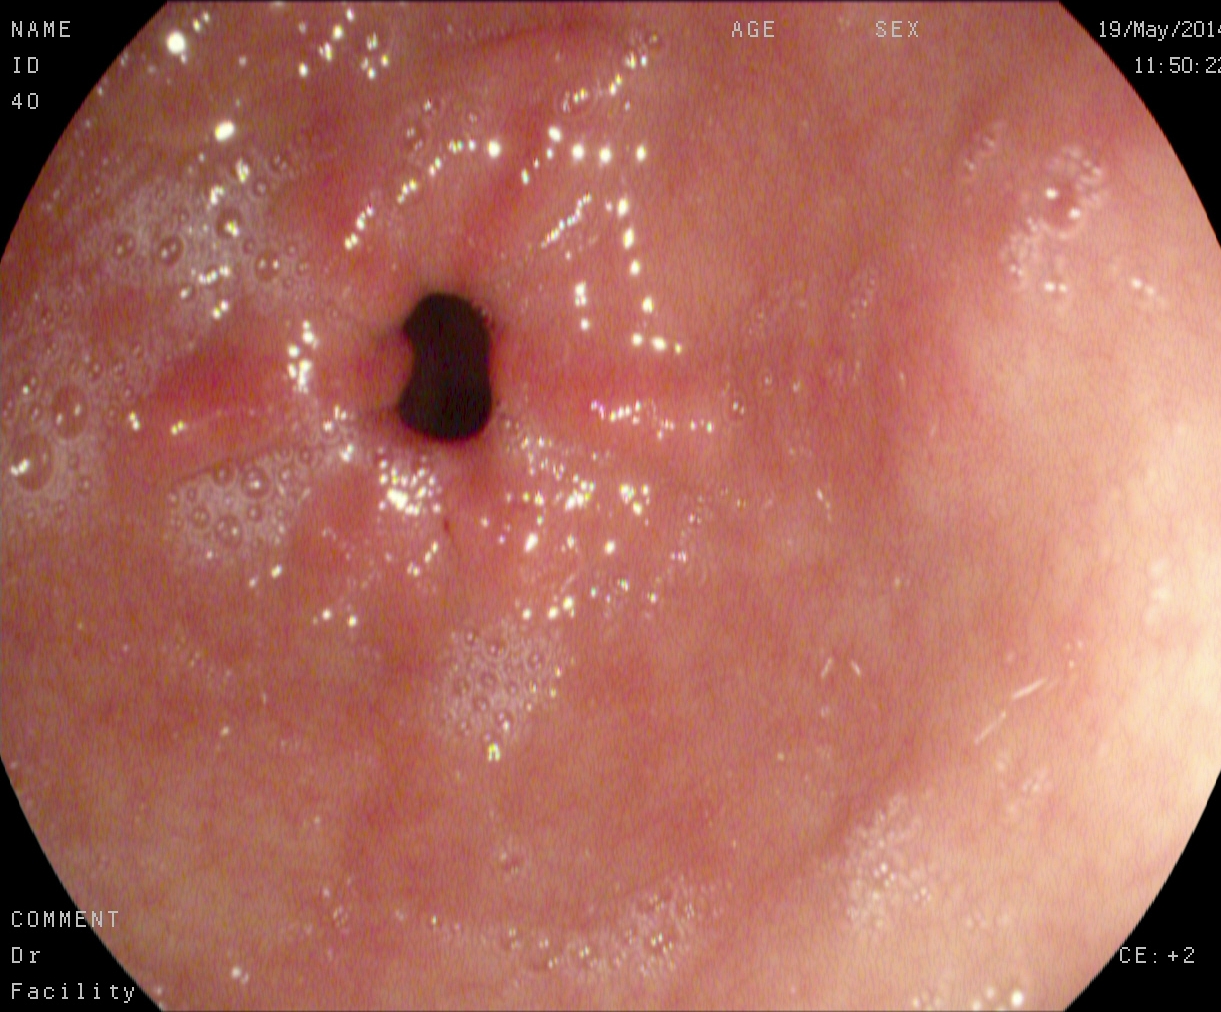Endoscopic image showing pylorus.